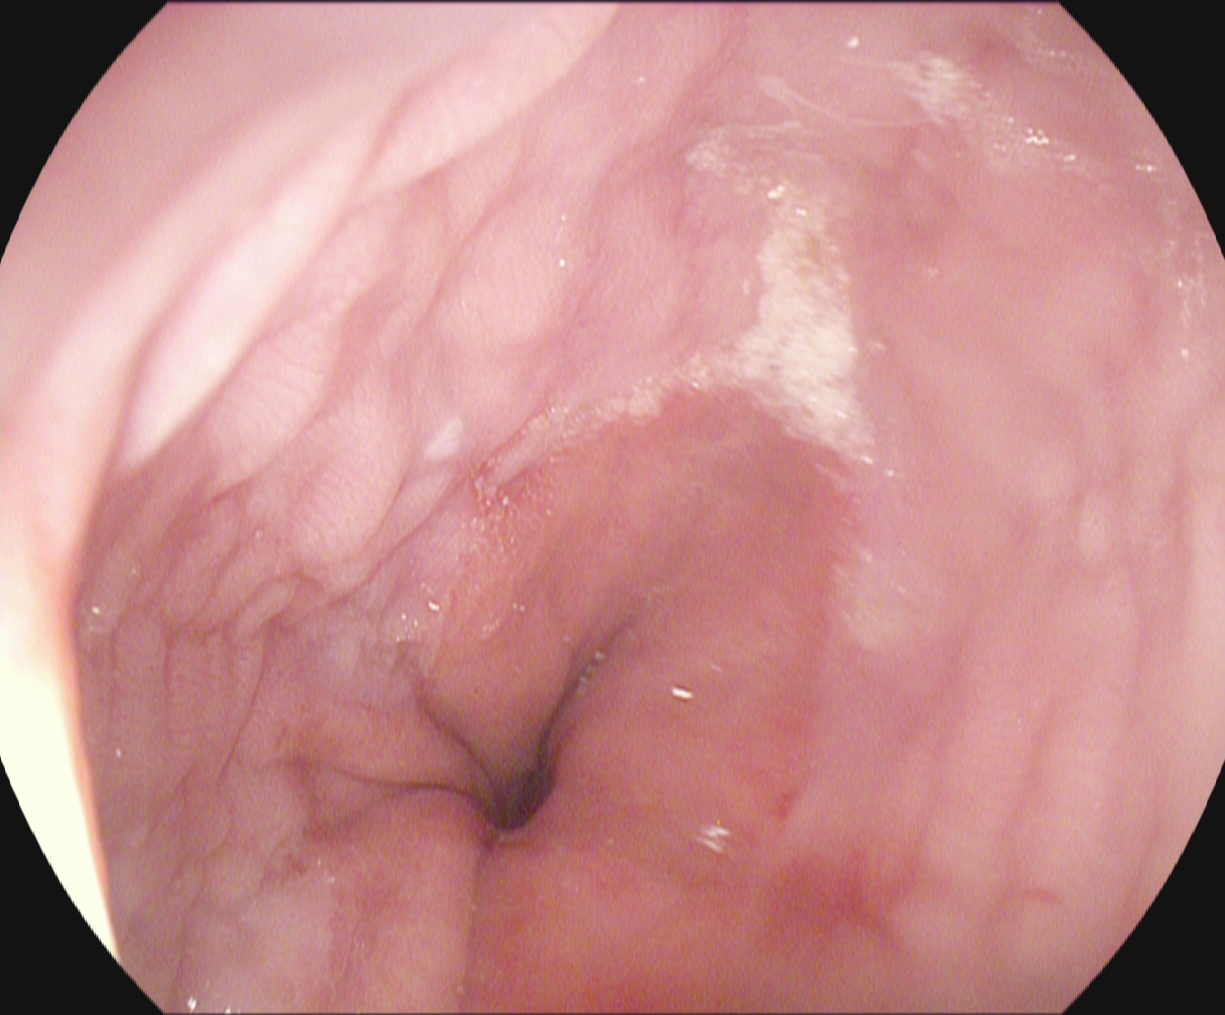This endoscopy frame of the upper GI tract shows reflux esophagitis, Los Angeles grade A.